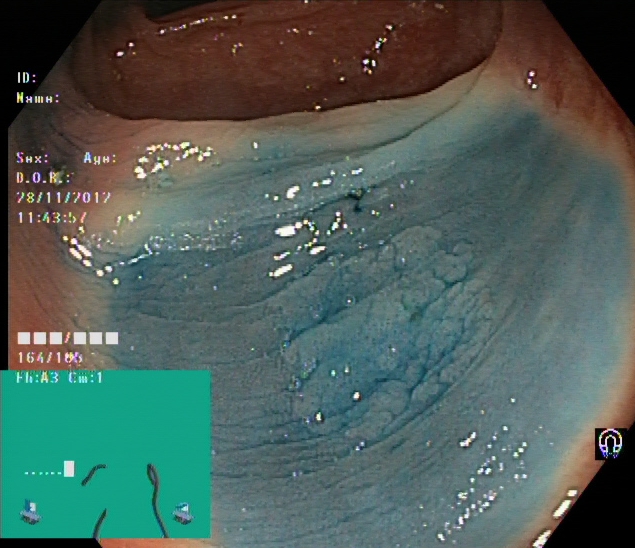{"modality": "lower-GI endoscopy", "tract": "lower GI tract", "category": "therapeutic intervention", "finding": "dyed and lifted polyp (pre-resection)"}